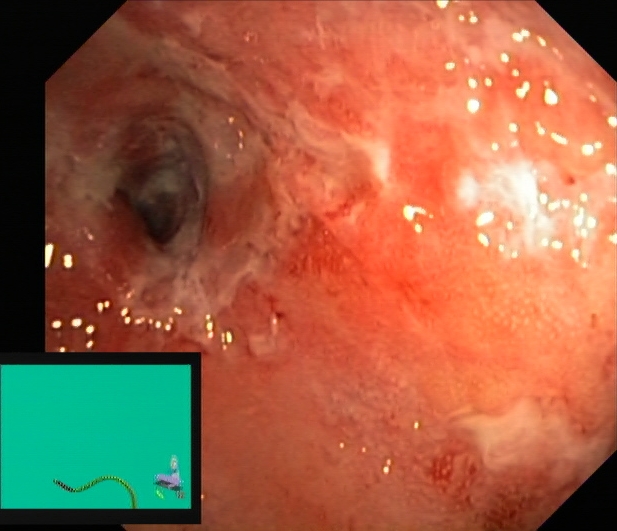Ulcerative colitis, Mayo endoscopic subscore 3.